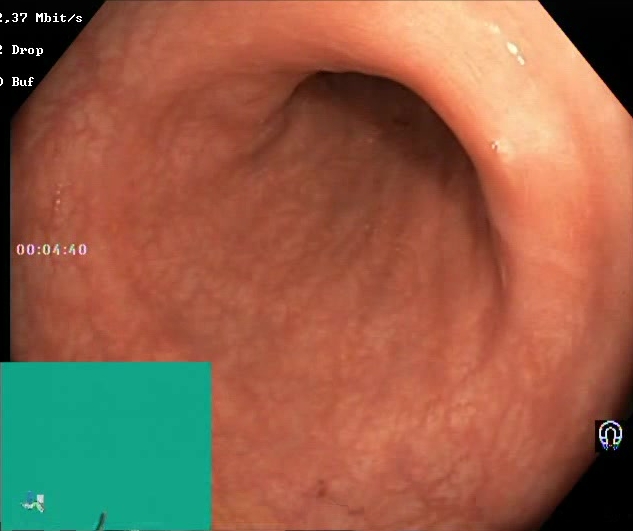Colonoscopy — BBPS score 2–3 (adequate preparation).